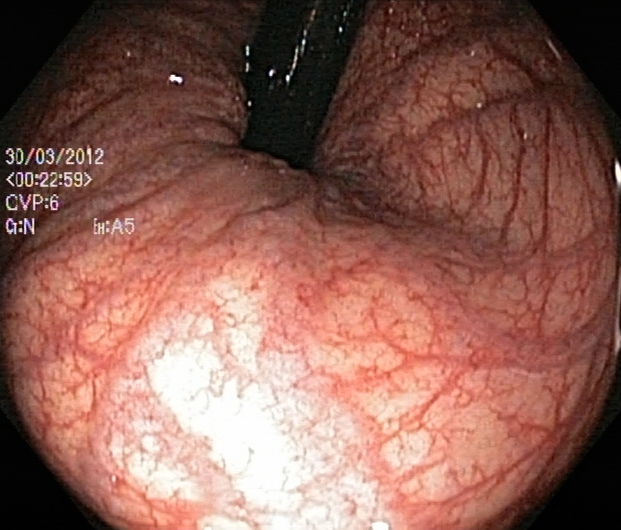Rectum in retroflexion.